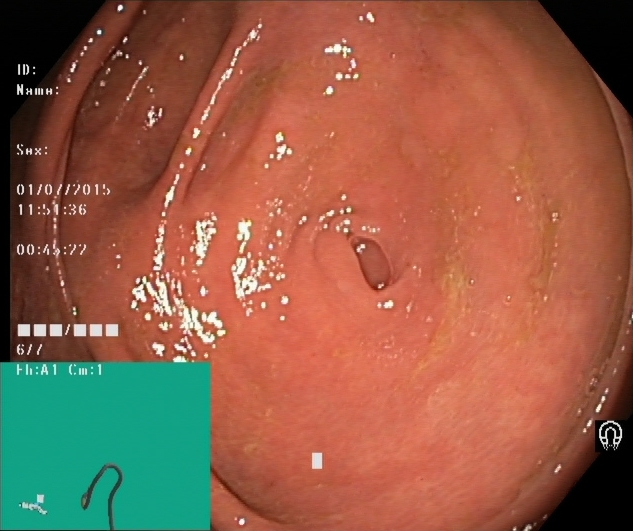{"modality": "lower-GI endoscopy", "tract": "lower GI tract", "finding": "cecum"}